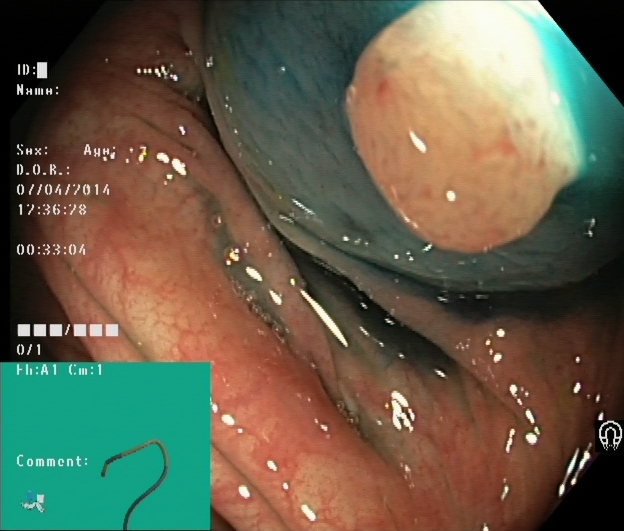modality: lower-GI endoscopy
category: therapeutic intervention
finding: dyed and lifted polyp (pre-resection)